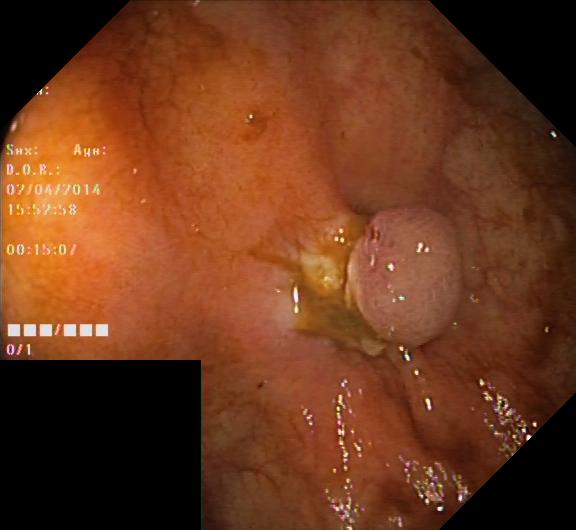PROCEDURE: Lower gastrointestinal endoscopy.
FINDINGS: Colorectal polyp(s).